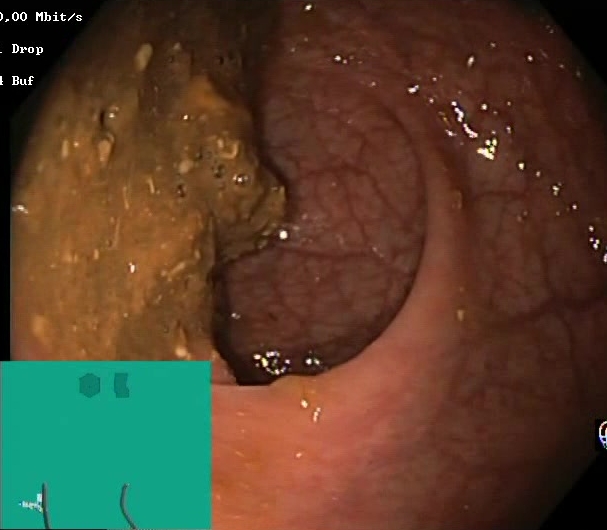BBPS score 0–1 (inadequate preparation).